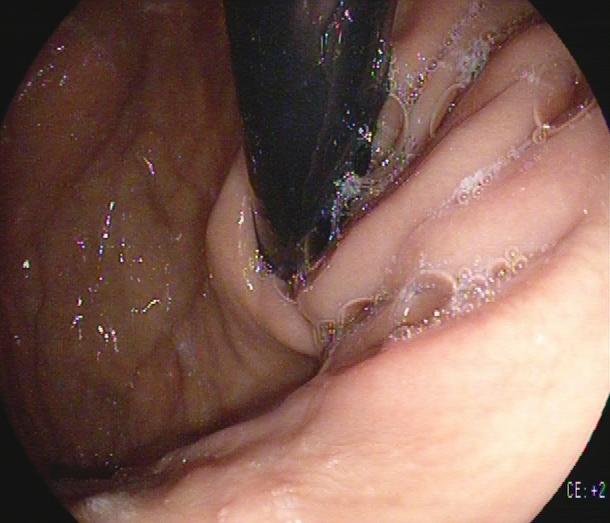This endoscopic image of the upper GI tract shows stomach in retroflexion.